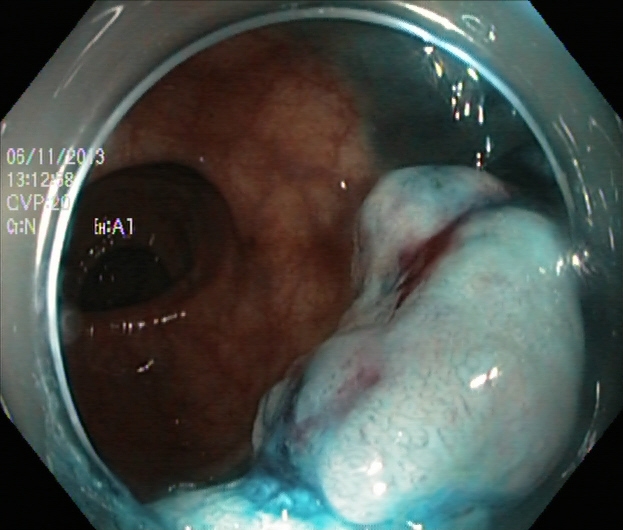PROCEDURE: Lower-GI endoscopy.
CATEGORY: Therapeutic intervention.
FINDINGS: Dyed and lifted polyp (pre-resection).